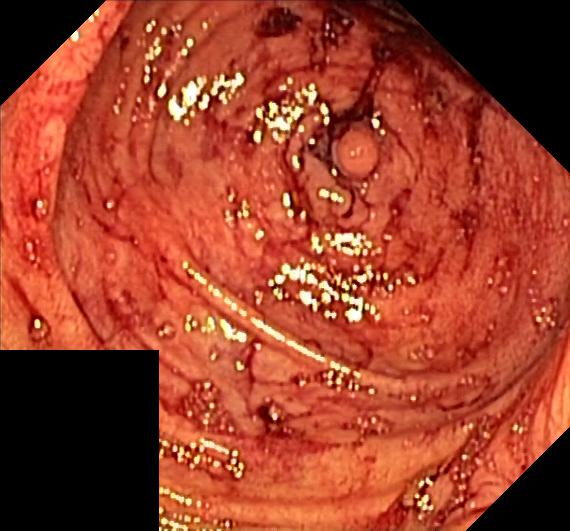Endoscopic image showing colorectal polyp(s).